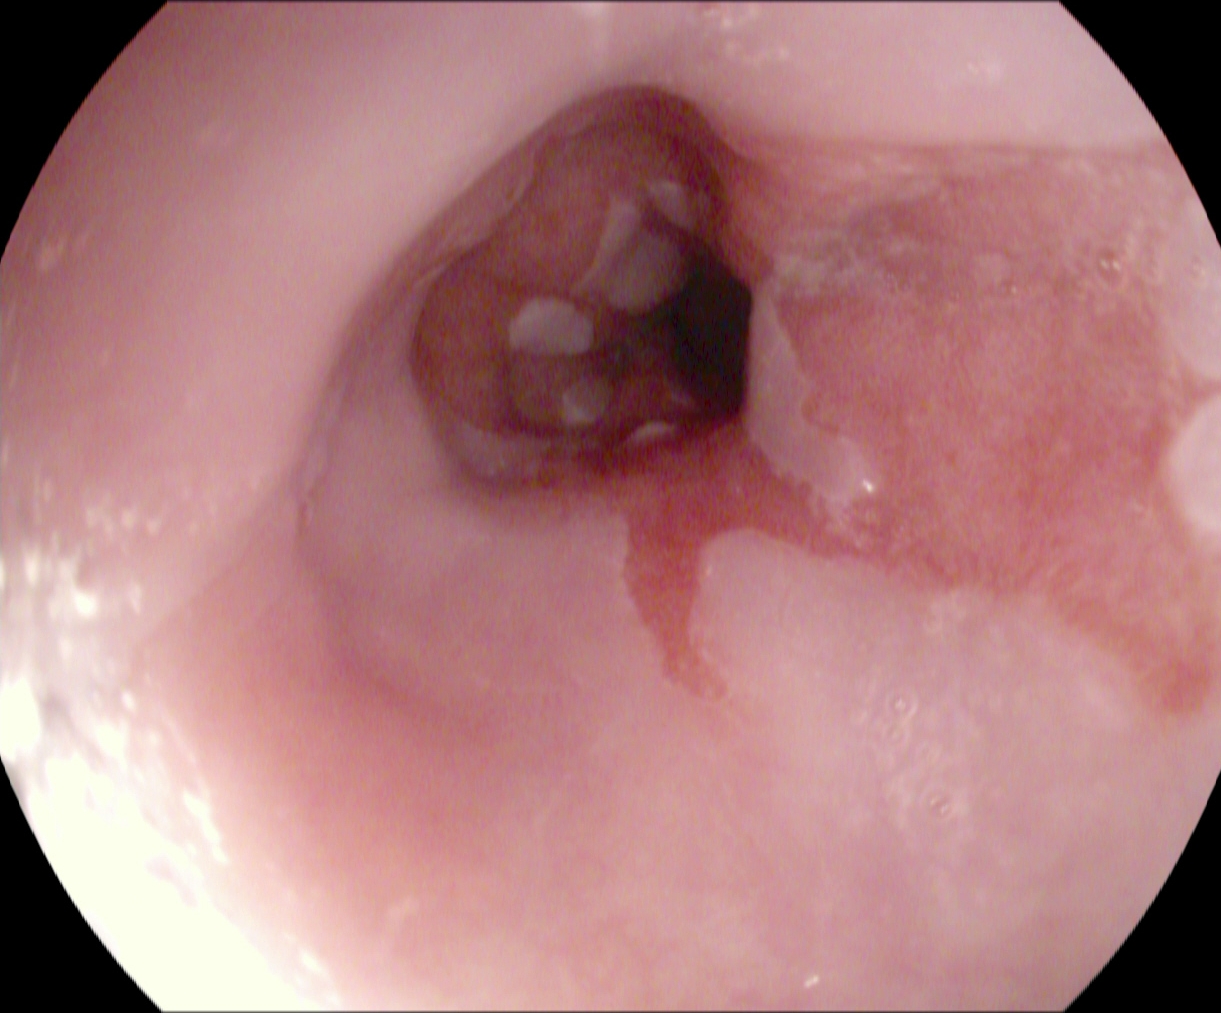Esophagogastroduodenoscopy. Tract: upper GI tract. Finding: Barrett's esophagus.